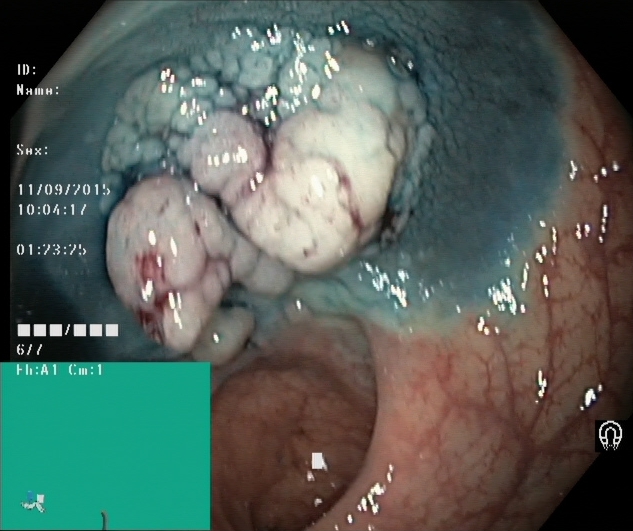Dyed and lifted polyp (pre-resection).